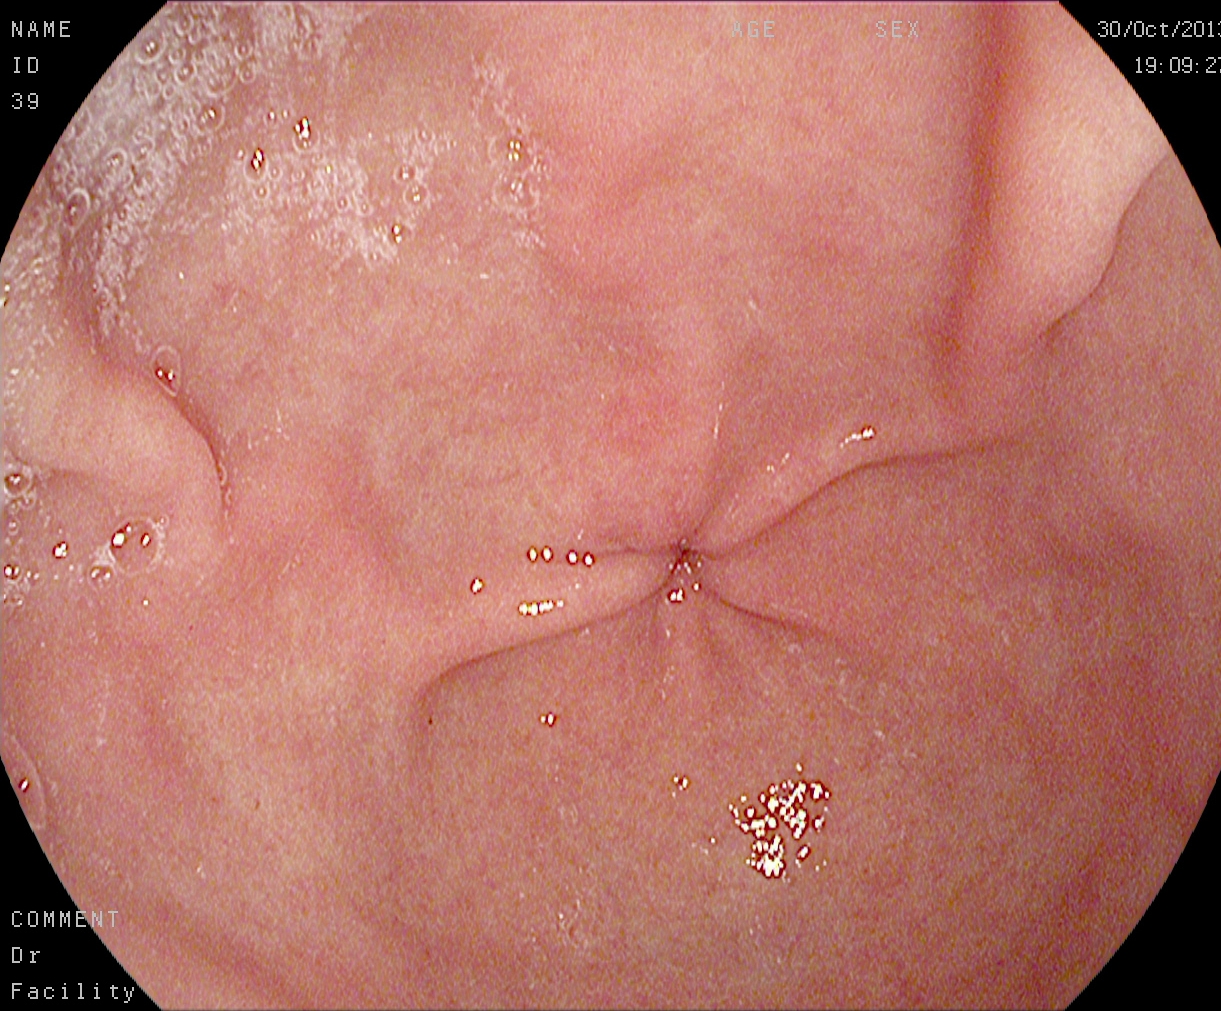Endoscopic frame of the upper GI tract showing pylorus.